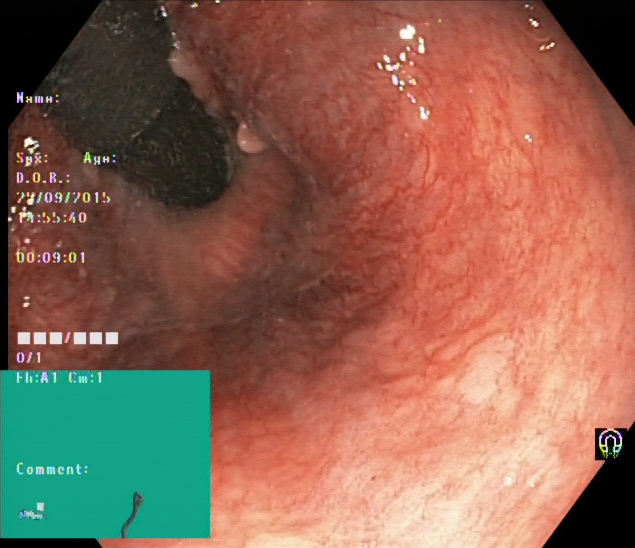modality: lower-GI endoscopy
tract: lower GI tract
category: anatomical landmark
finding: rectum in retroflexion